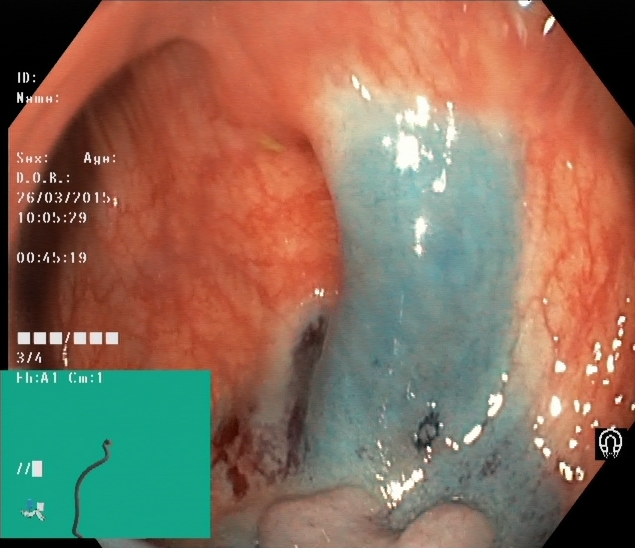GI endoscopy image showing dyed resection margins (post-polypectomy).